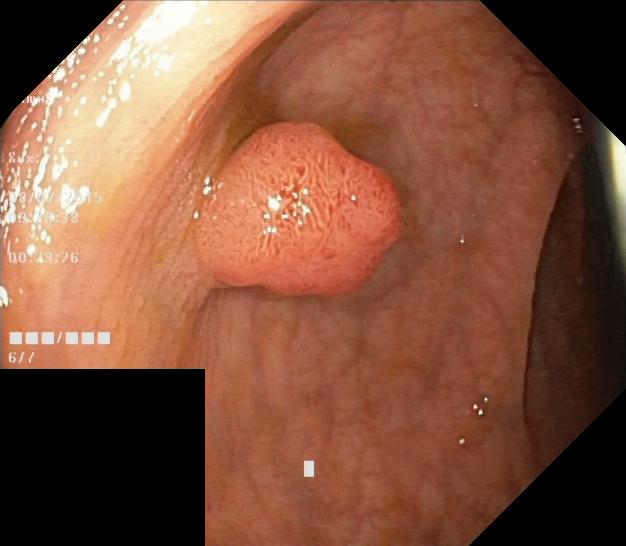Colonoscopy. Finding: colorectal polyp(s).